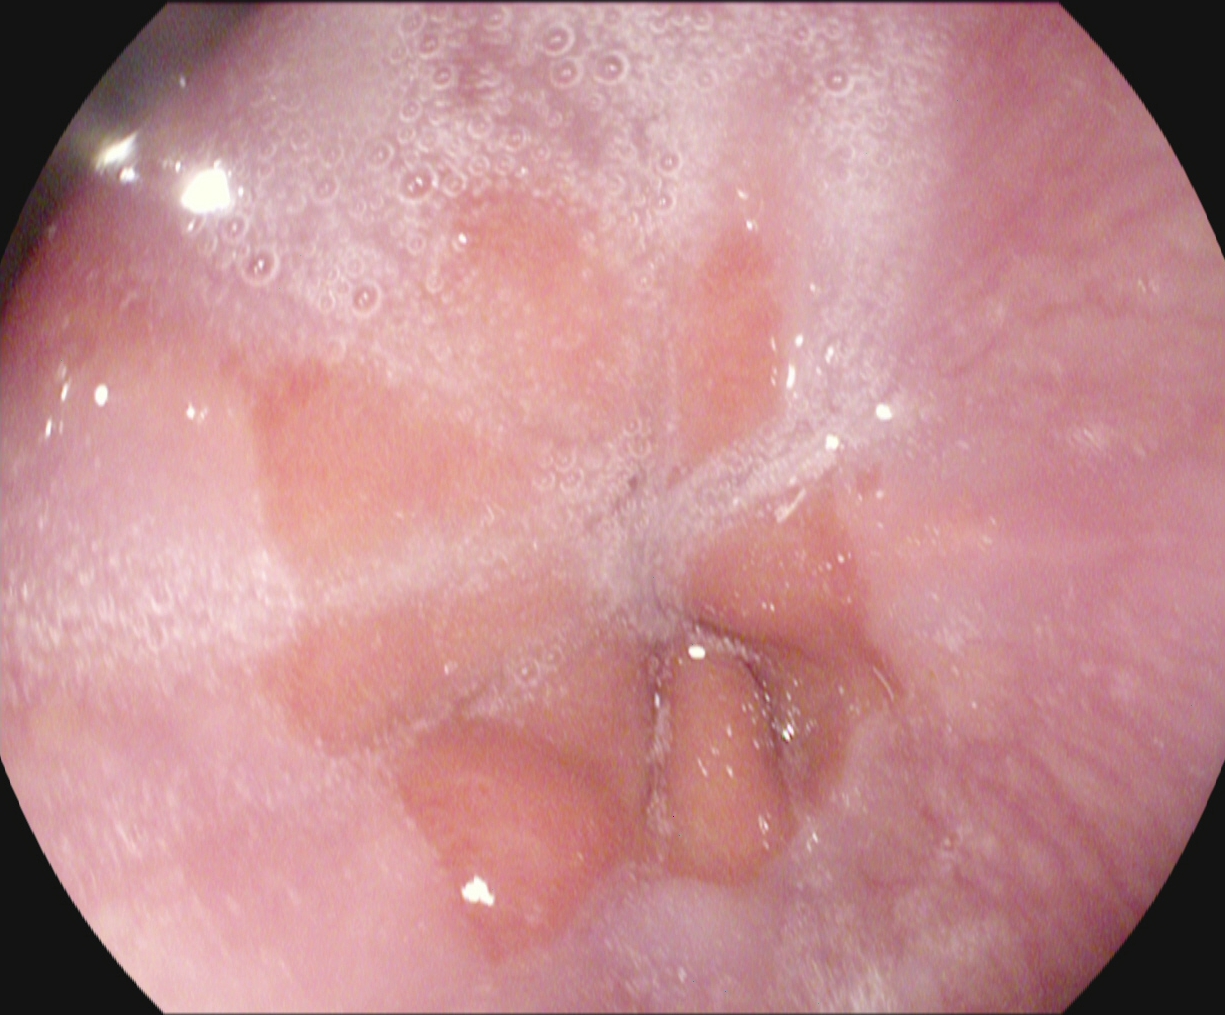Z-line (gastroesophageal junction).